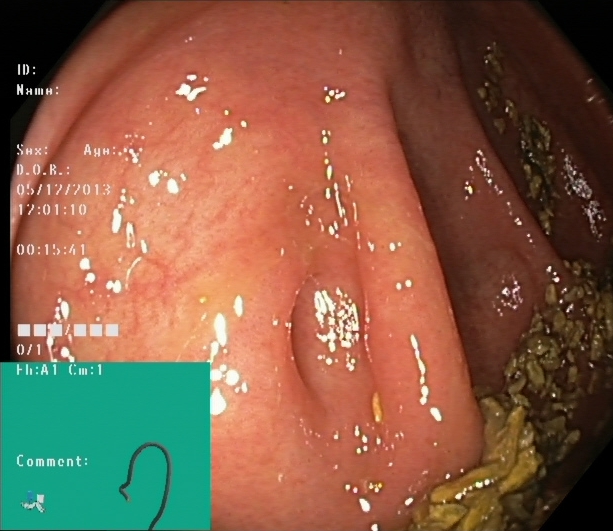Lower-GI endoscopy. Tract: lower GI tract. Finding: cecum.